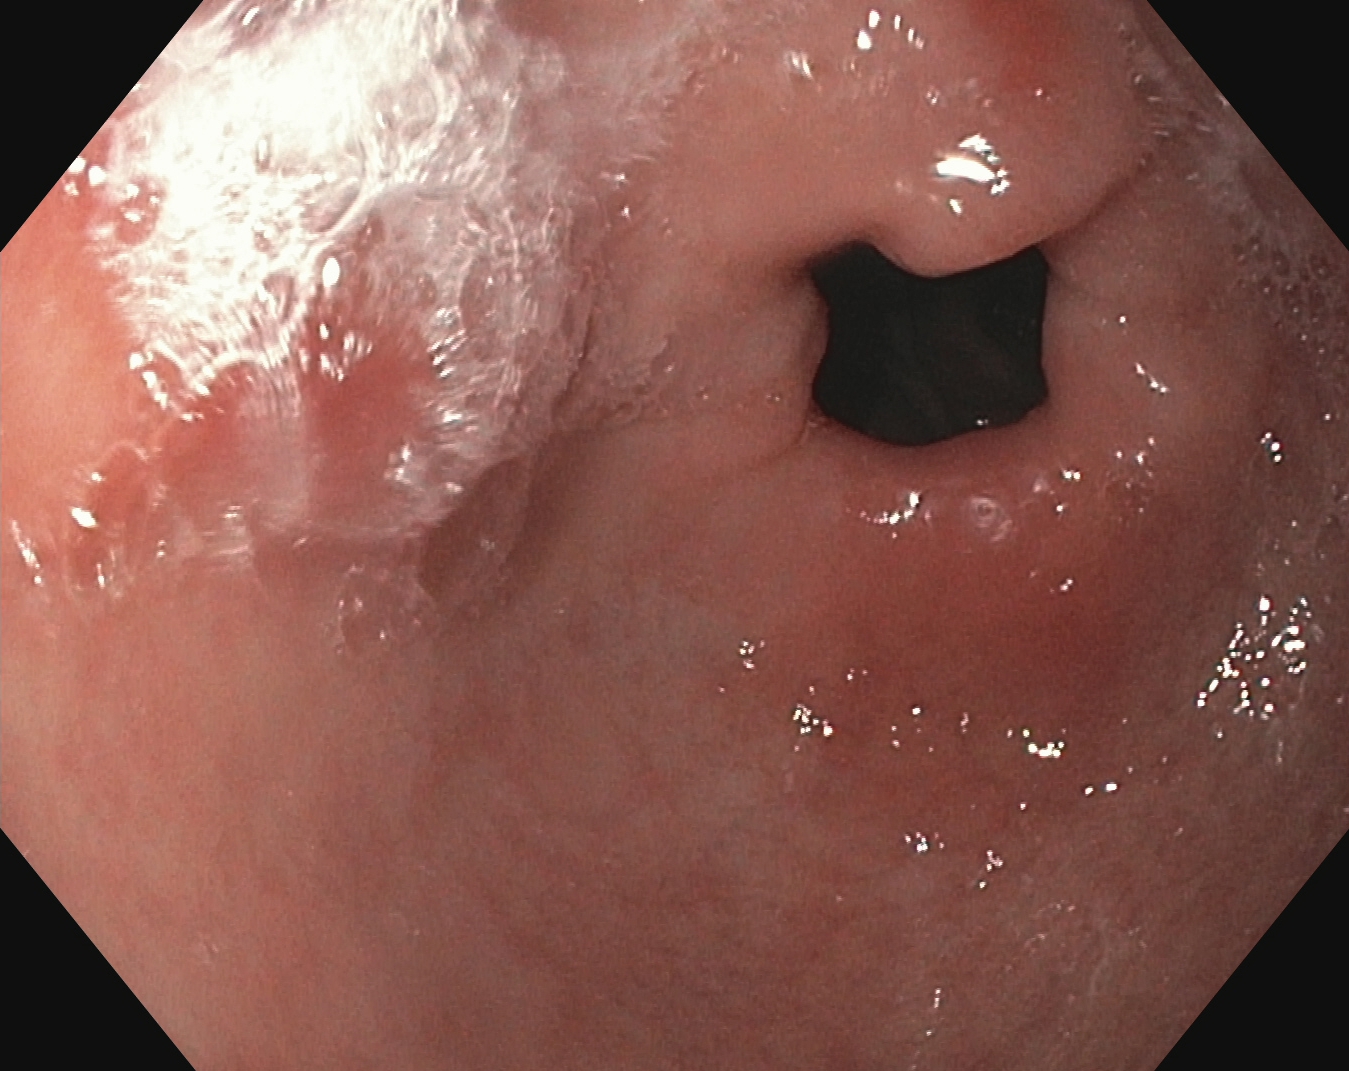Pylorus.